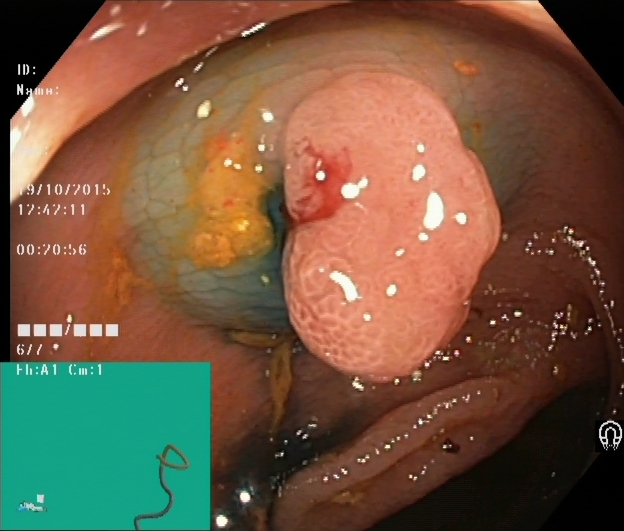modality: lower gastrointestinal endoscopy; tract: lower GI tract; finding: dyed and lifted polyp (pre-resection)